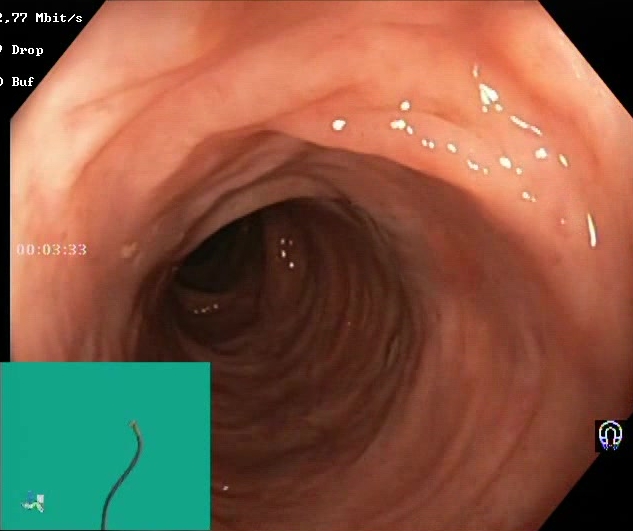Lower-GI endoscopy. Tract: lower GI tract. Finding: Boston Bowel Preparation Scale score 2–3 (adequate preparation).